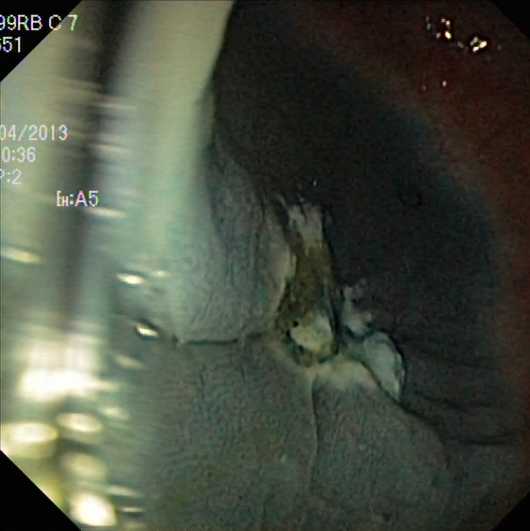modality: colonoscopy
category: therapeutic intervention
finding: dyed resection margins (post-polypectomy)